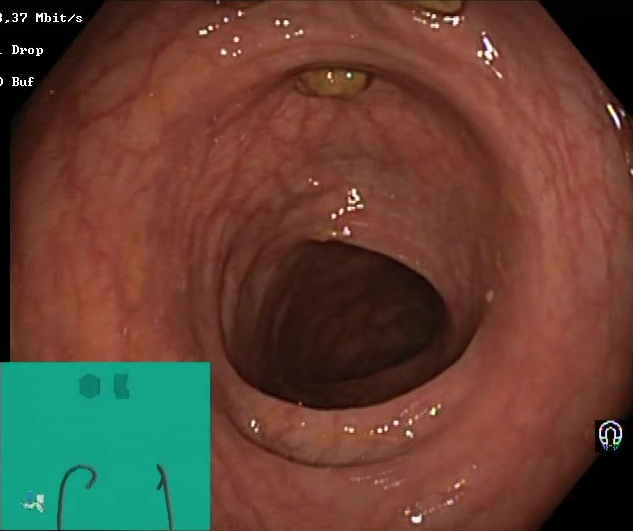Lower-GI endoscopy image showing Boston Bowel Preparation Scale score 2–3 (adequate preparation).